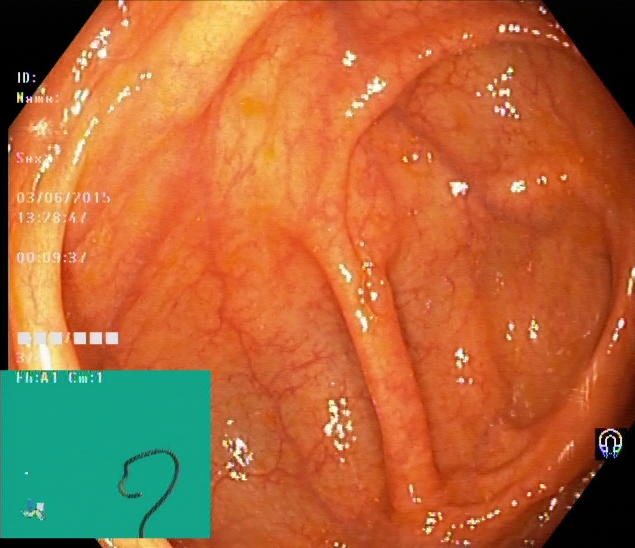Colonoscopy. Anatomical landmark. Finding: cecum.